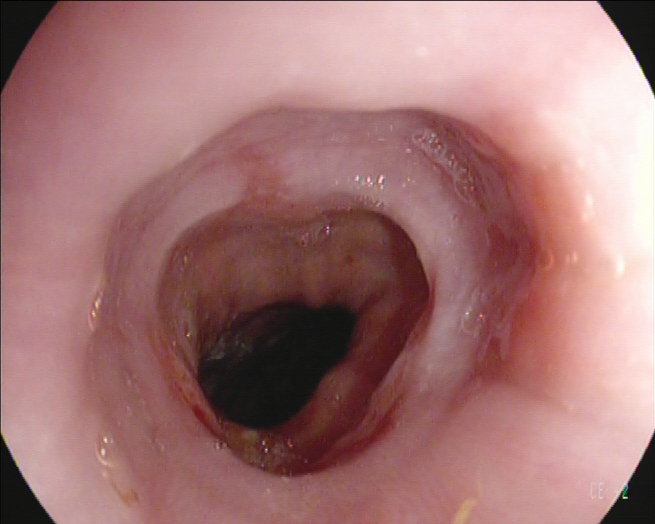Gastrointestinal endoscopy image showing reflux esophagitis, Los Angeles grade A.